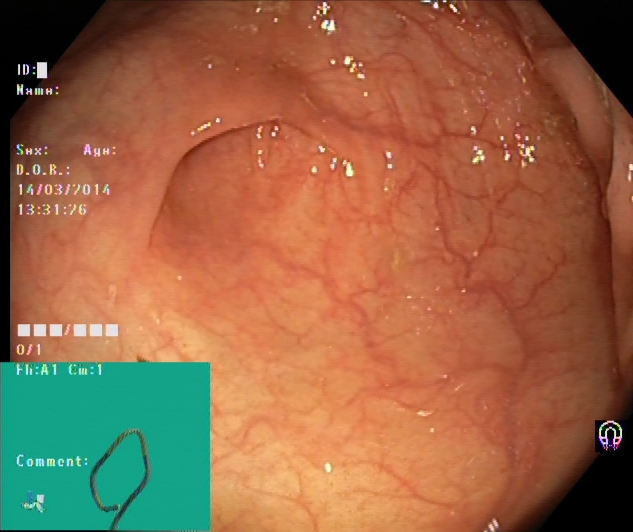This endoscopy frame of the lower GI tract shows cecum.